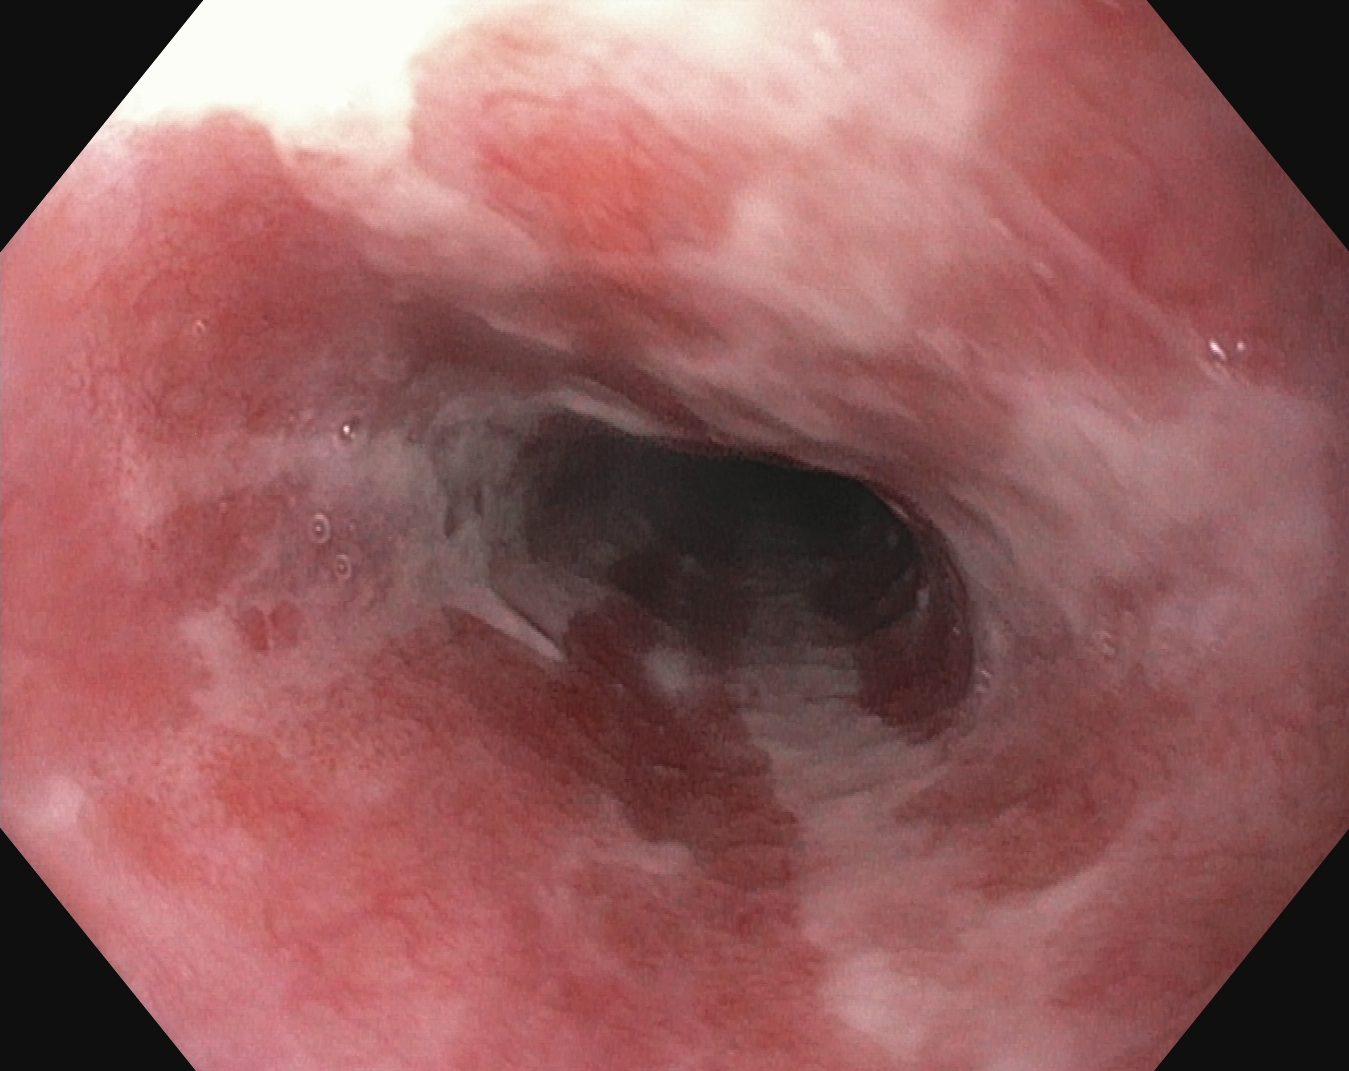EGD. Pathological finding. Finding: reflux esophagitis, Los Angeles grade B–D.